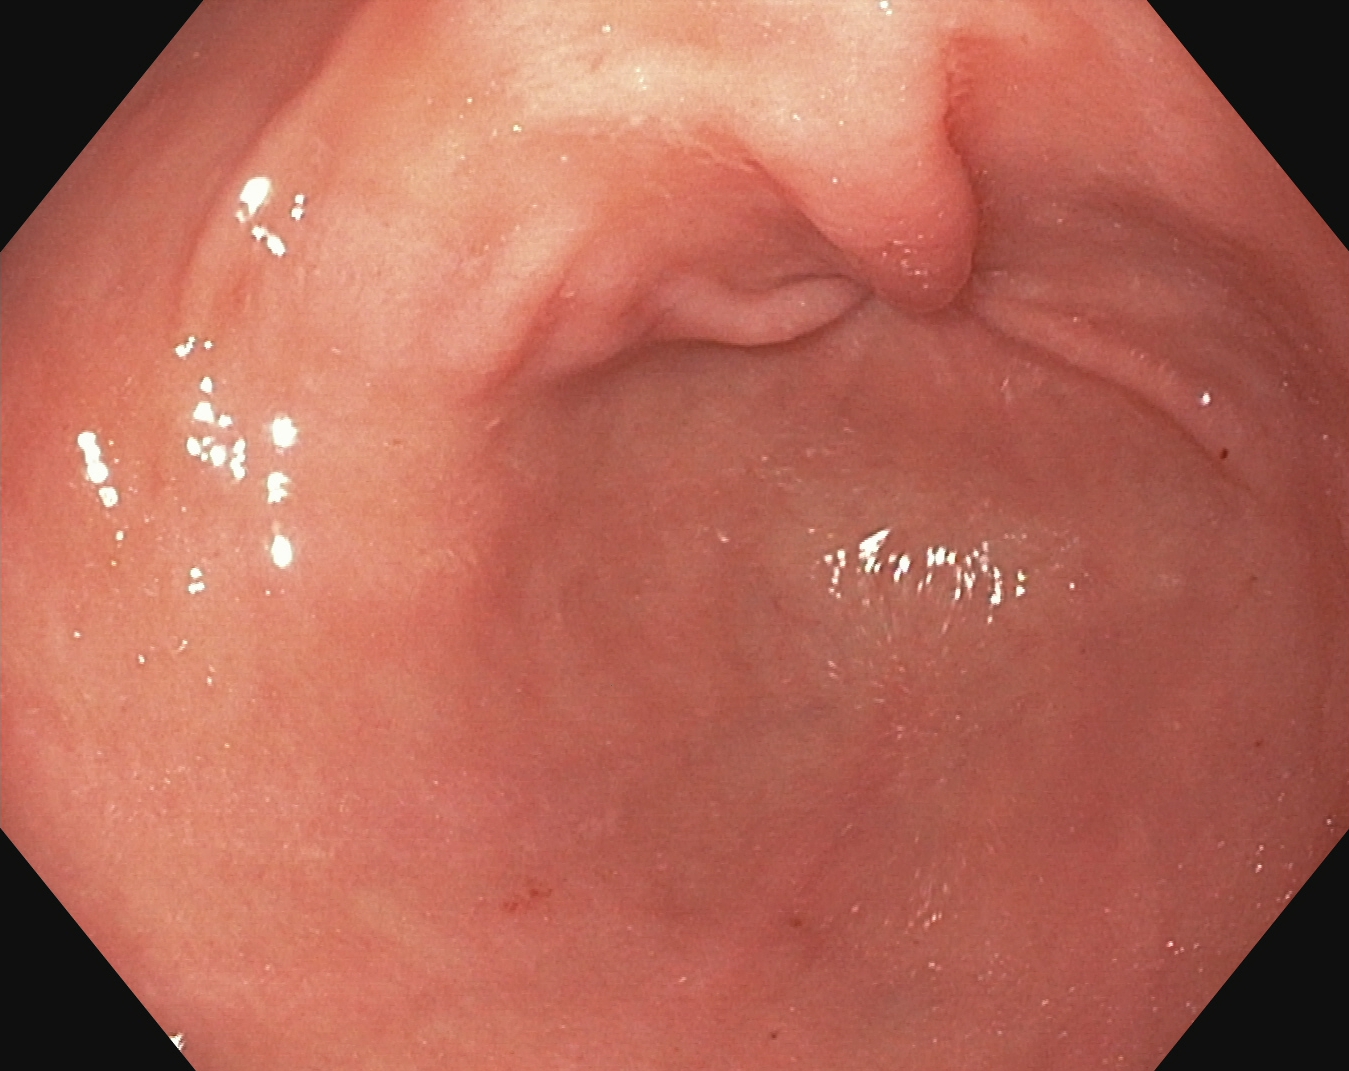This endoscopic image shows pylorus.